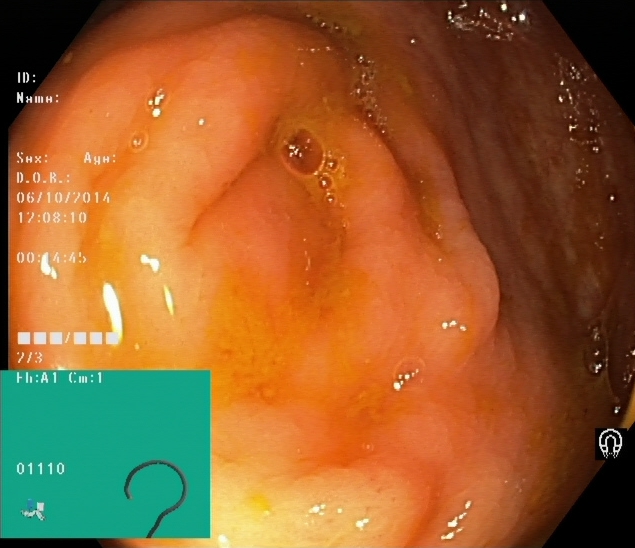{"modality": "lower gastrointestinal endoscopy", "tract": "lower GI tract", "finding": "cecum"}